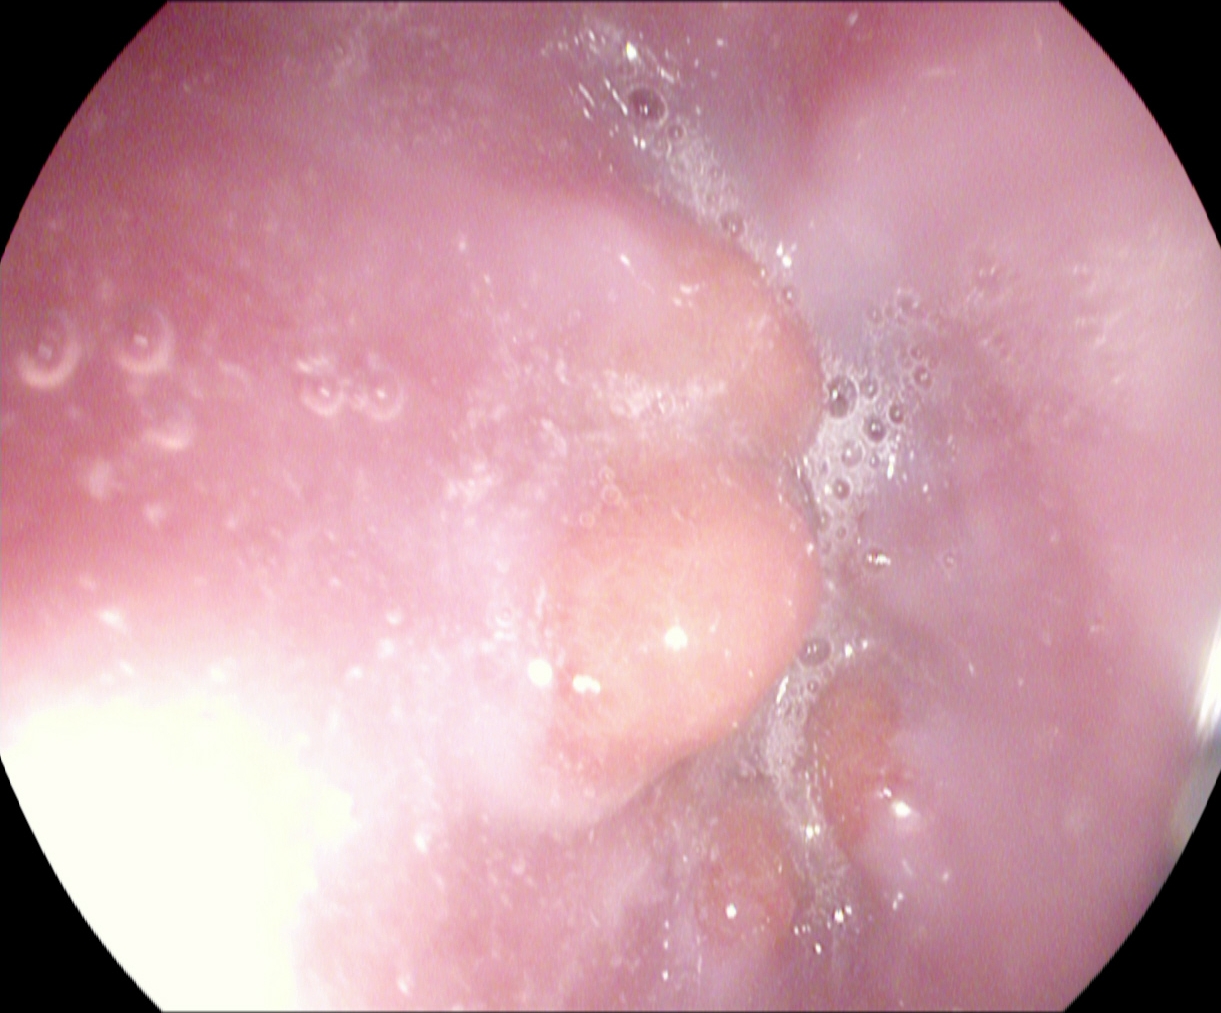Endoscopic frame of the upper GI tract showing Z-line (gastroesophageal junction).